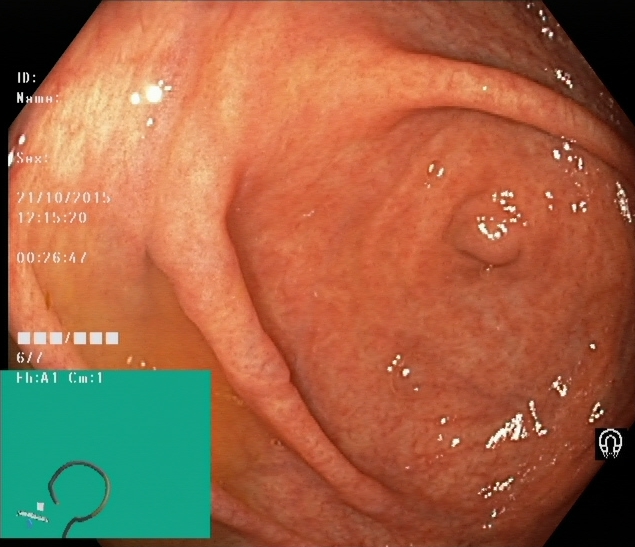Lower-GI endoscopy — cecum.